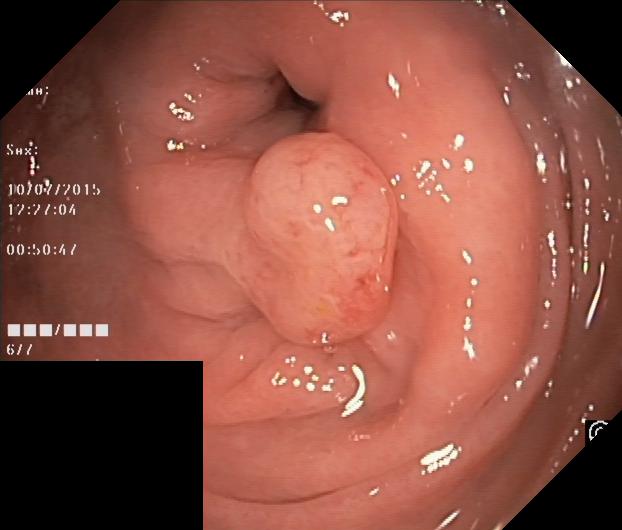Colorectal polyp(s).